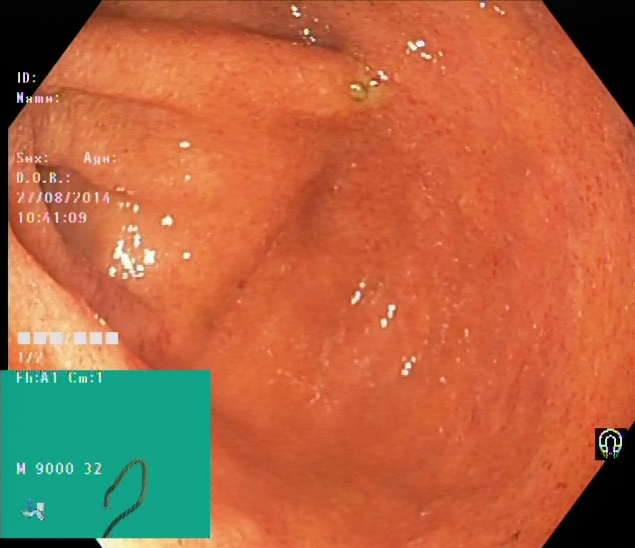{"modality": "colonoscopy", "tract": "lower GI tract", "category": "anatomical landmark", "finding": "cecum"}